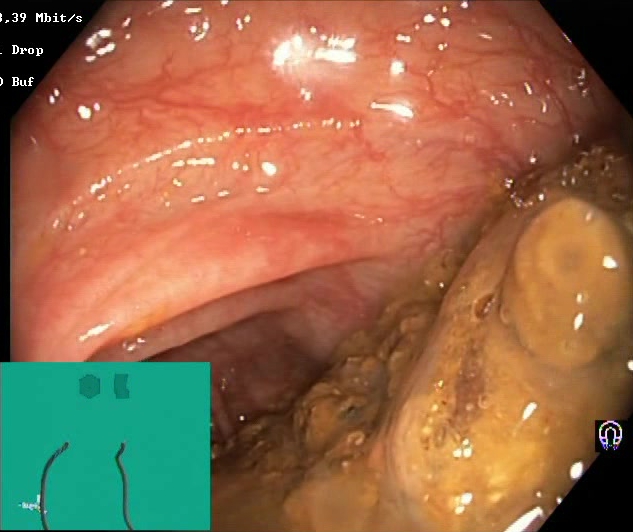Boston Bowel Preparation Scale score 0–1 (inadequate preparation).